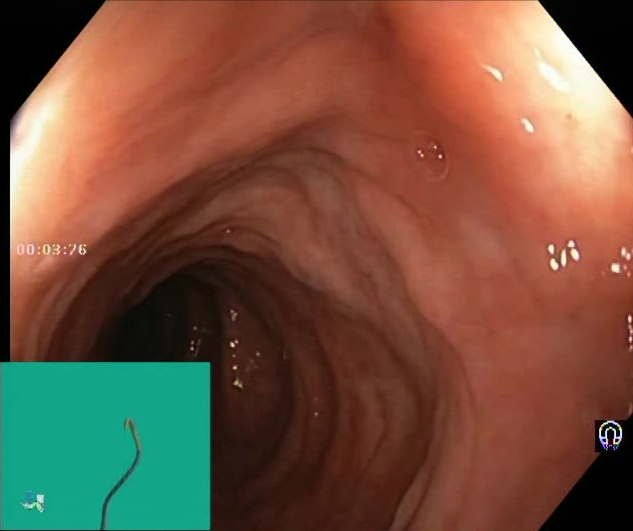PROCEDURE: Lower gastrointestinal endoscopy.
CATEGORY: Mucosal-view quality.
FINDINGS: Boston Bowel Preparation Scale score 2–3 (adequate preparation).